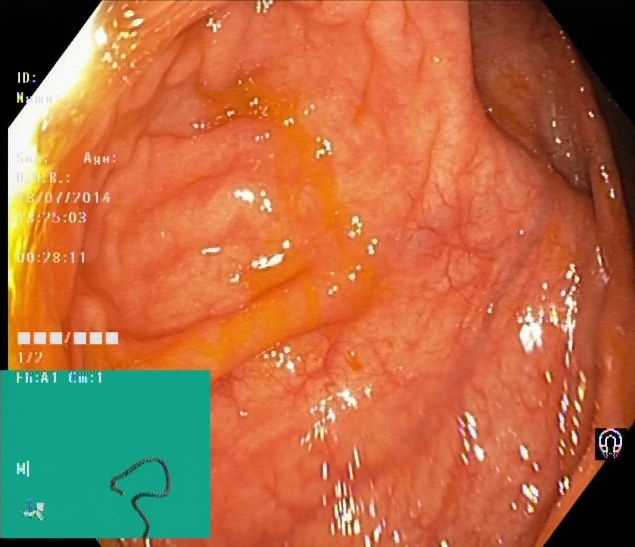Endoscopy image of the lower GI tract showing cecum.